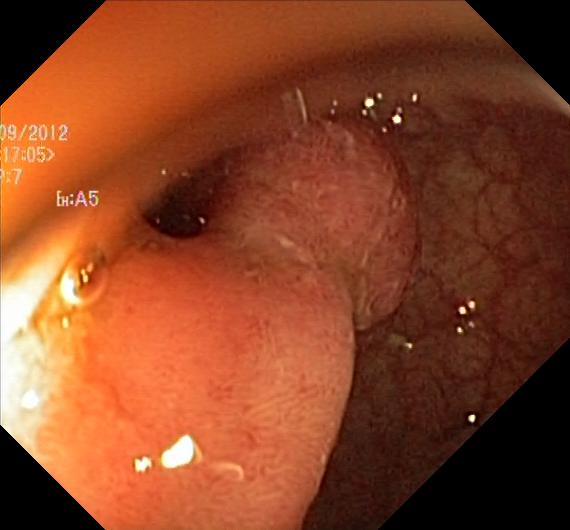modality: lower-GI endoscopy | finding: colorectal polyp(s)